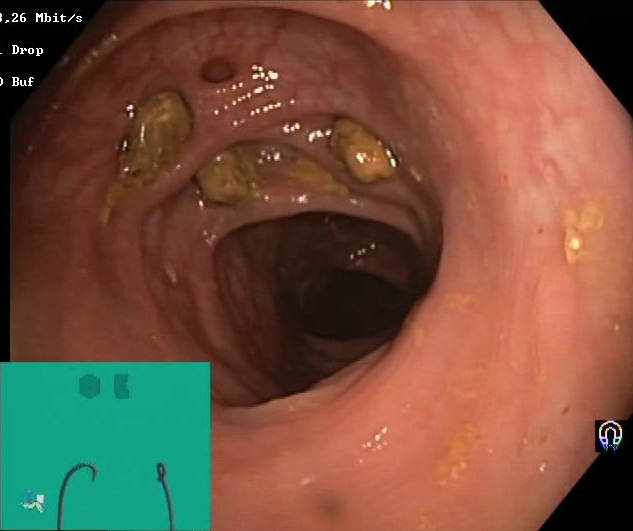GI endoscopy image of the lower GI tract showing impacted stool.